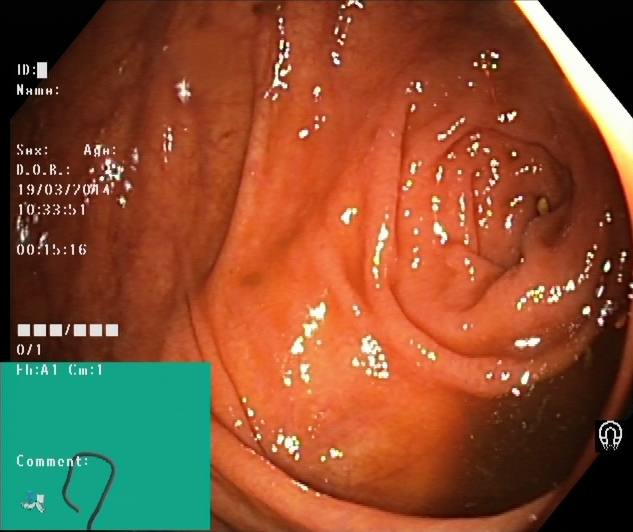Colonoscopy. Tract: lower GI tract. Finding: cecum.